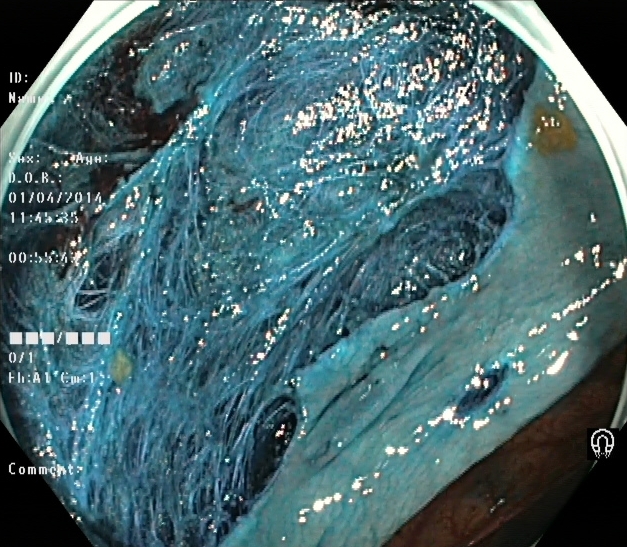dyed resection margins (post-polypectomy).